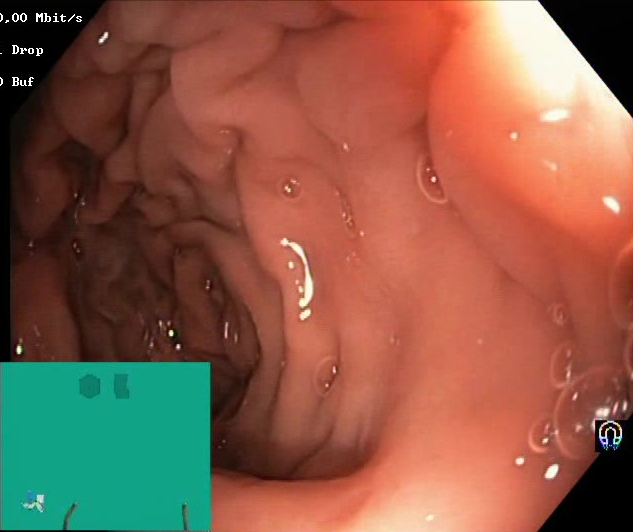This endoscopic image shows Boston Bowel Preparation Scale score 2–3 (adequate preparation).